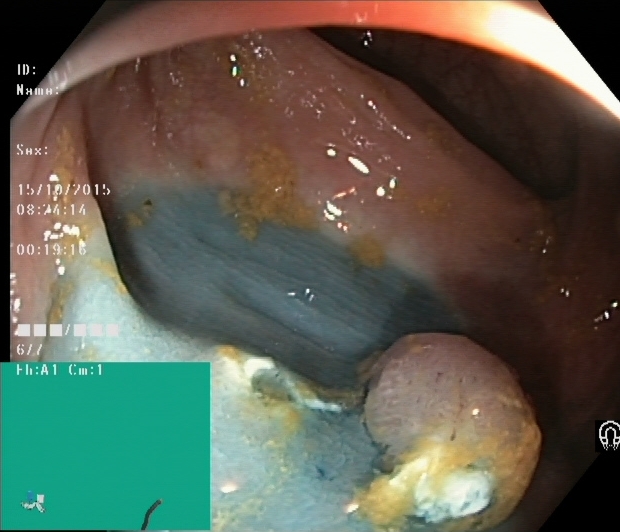Dyed and lifted polyp (pre-resection).